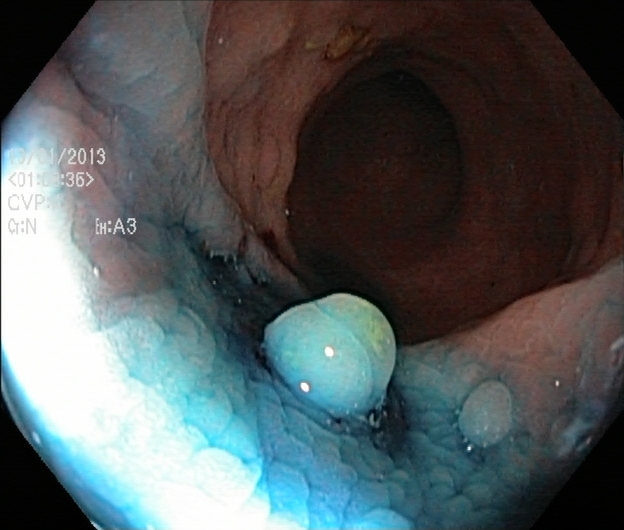Lower-GI endoscopy. Tract: lower GI tract. Therapeutic intervention. Finding: dyed and lifted polyp (pre-resection).